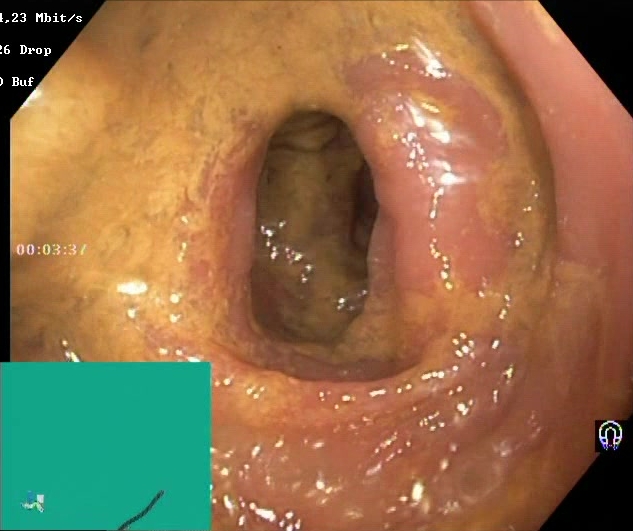modality: colonoscopy | category: mucosal-view quality | finding: Boston Bowel Preparation Scale score 0–1 (inadequate preparation)